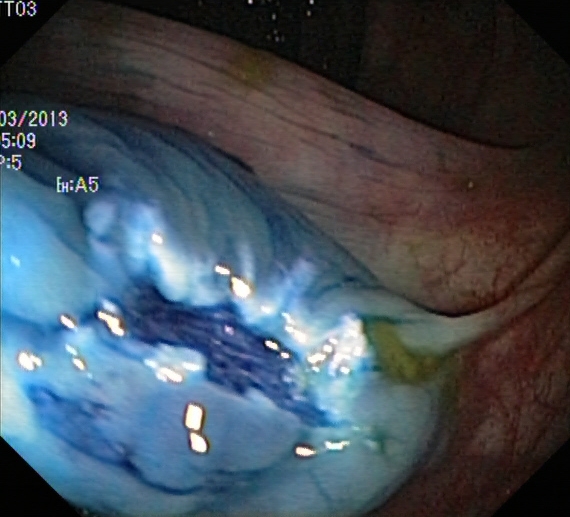Colonoscopy. Tract: lower GI tract. Finding: dyed resection margins (post-polypectomy).